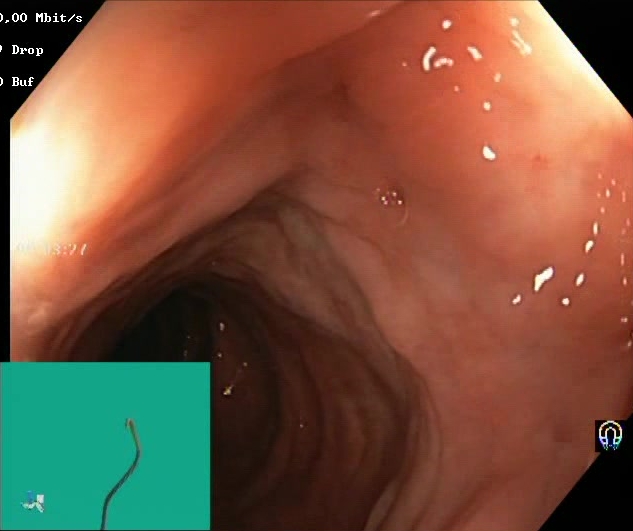This endoscopy frame of the lower GI tract shows Boston Bowel Preparation Scale score 2–3 (adequate preparation).